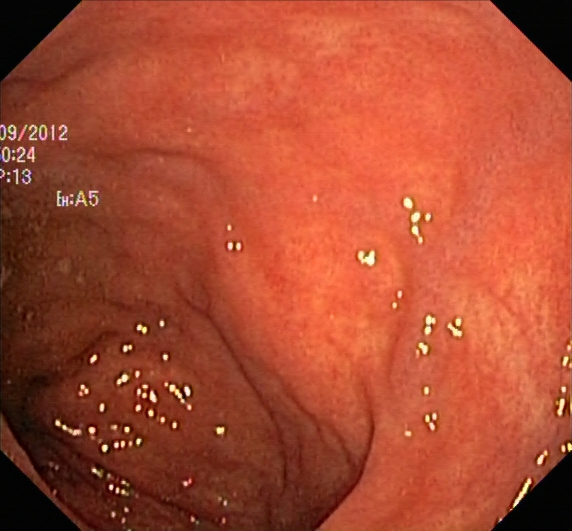{"modality": "lower gastrointestinal endoscopy", "finding": "ulcerative colitis, Mayo endoscopic subscore 2"}